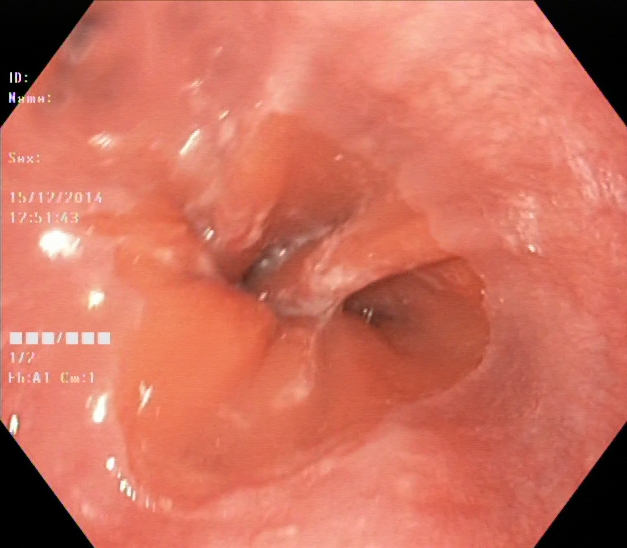PROCEDURE: EGD.
CATEGORY: Anatomical landmark.
FINDINGS: Z-line (gastroesophageal junction).